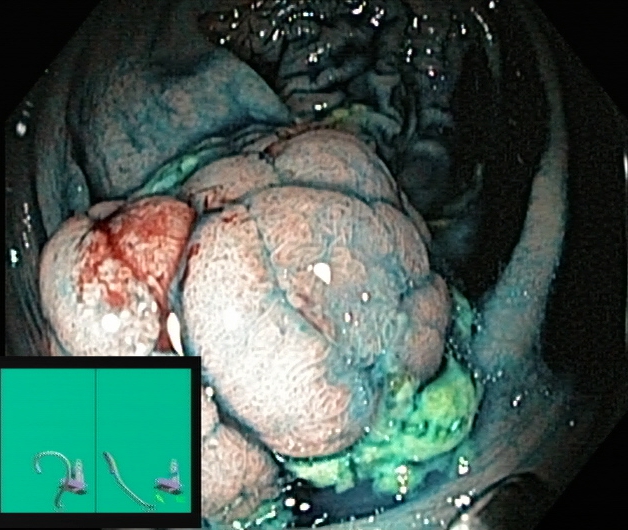{"modality": "lower gastrointestinal endoscopy", "tract": "lower GI tract", "category": "therapeutic intervention", "finding": "dyed and lifted polyp (pre-resection)"}